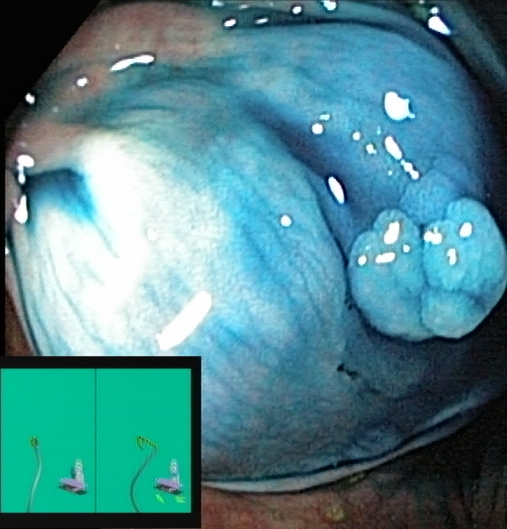Dyed and lifted polyp (pre-resection).